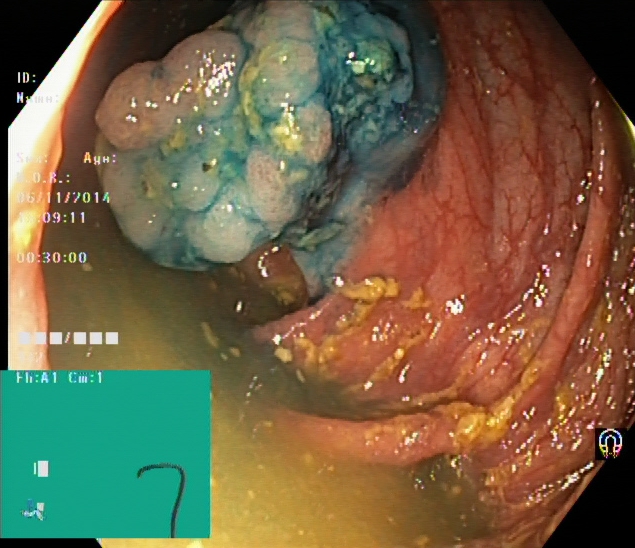modality: colonoscopy; tract: lower GI tract; category: therapeutic intervention; finding: dyed and lifted polyp (pre-resection)